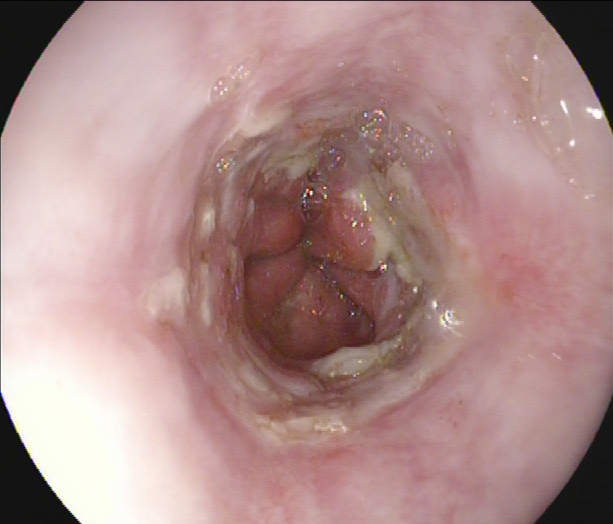Esophagogastroduodenoscopy — reflux esophagitis, Los Angeles grade B–D.